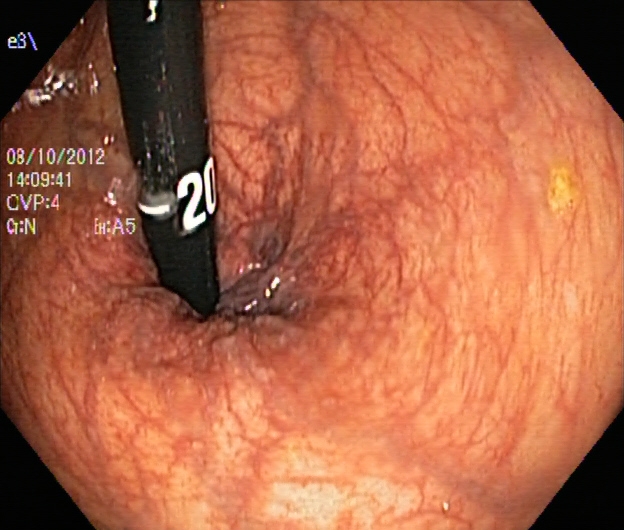Lower gastrointestinal endoscopy image showing rectum in retroflexion.